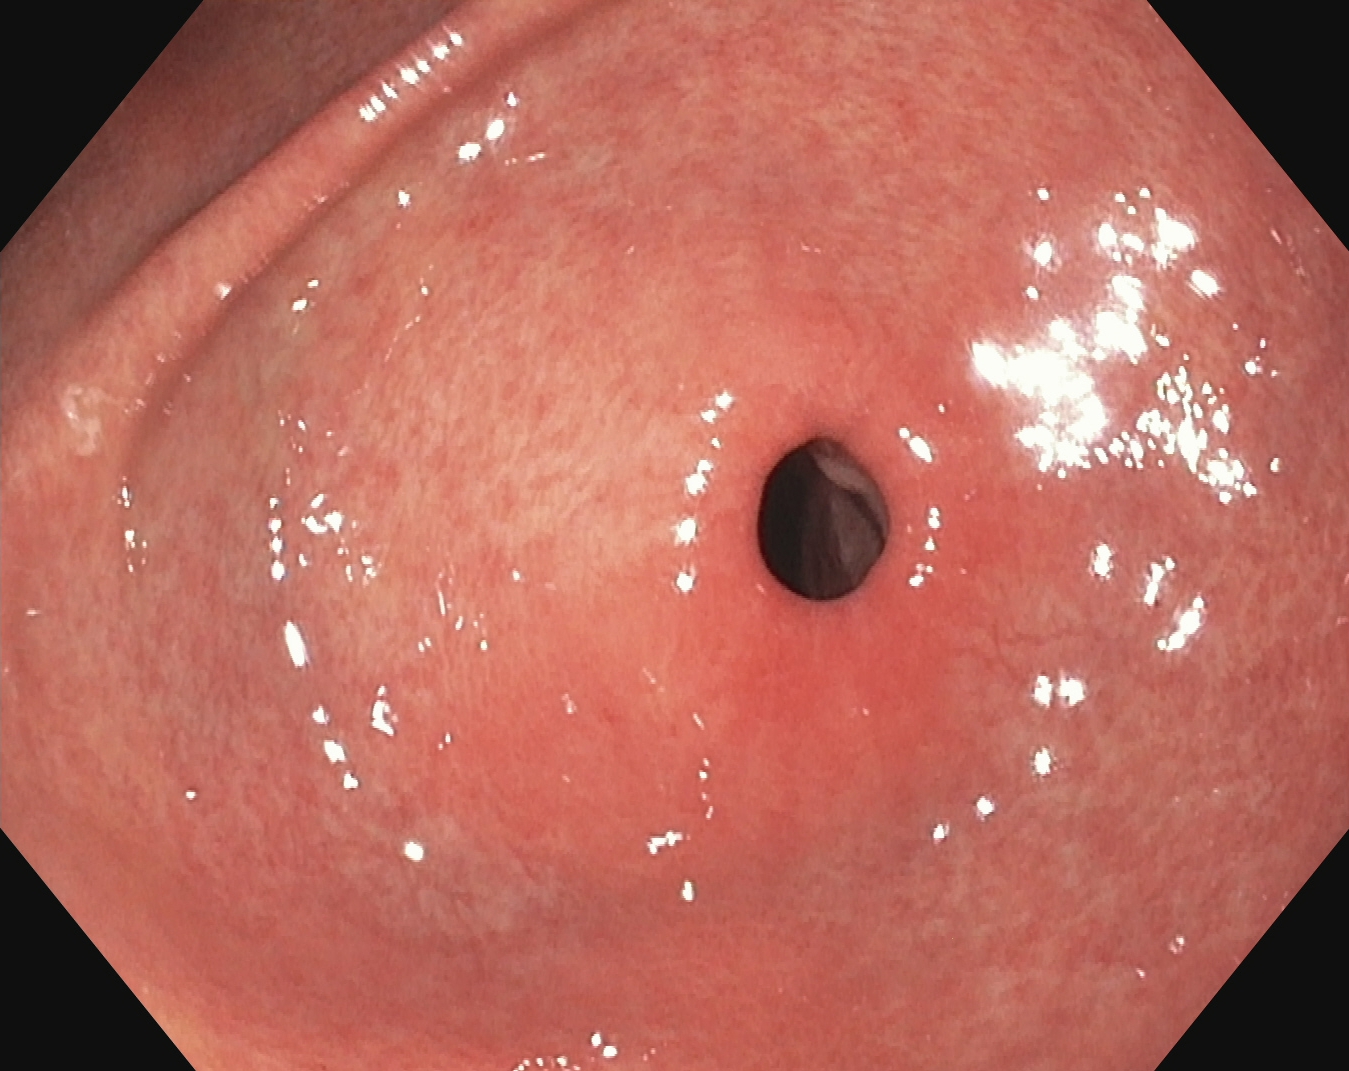This endoscopic image of the upper GI tract shows pylorus.